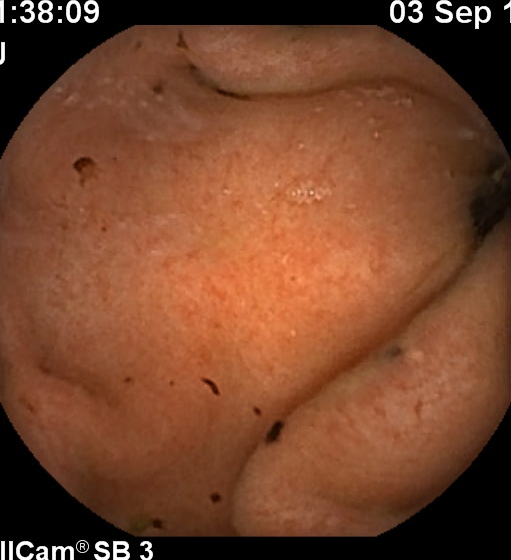Terminal ileum.